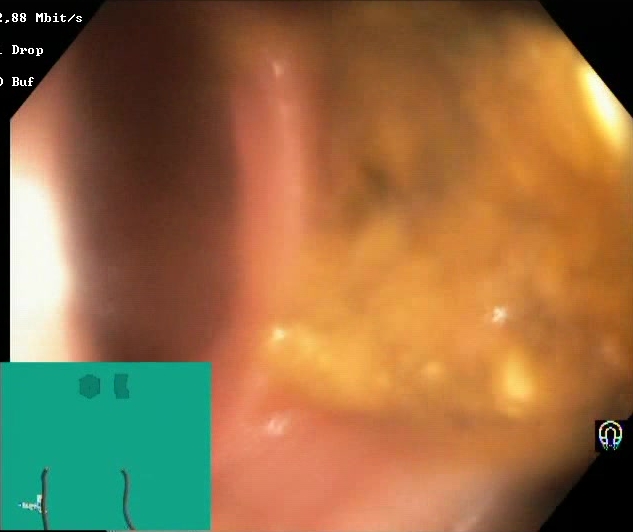Colonoscopy — Boston Bowel Preparation Scale score 0–1 (inadequate preparation).